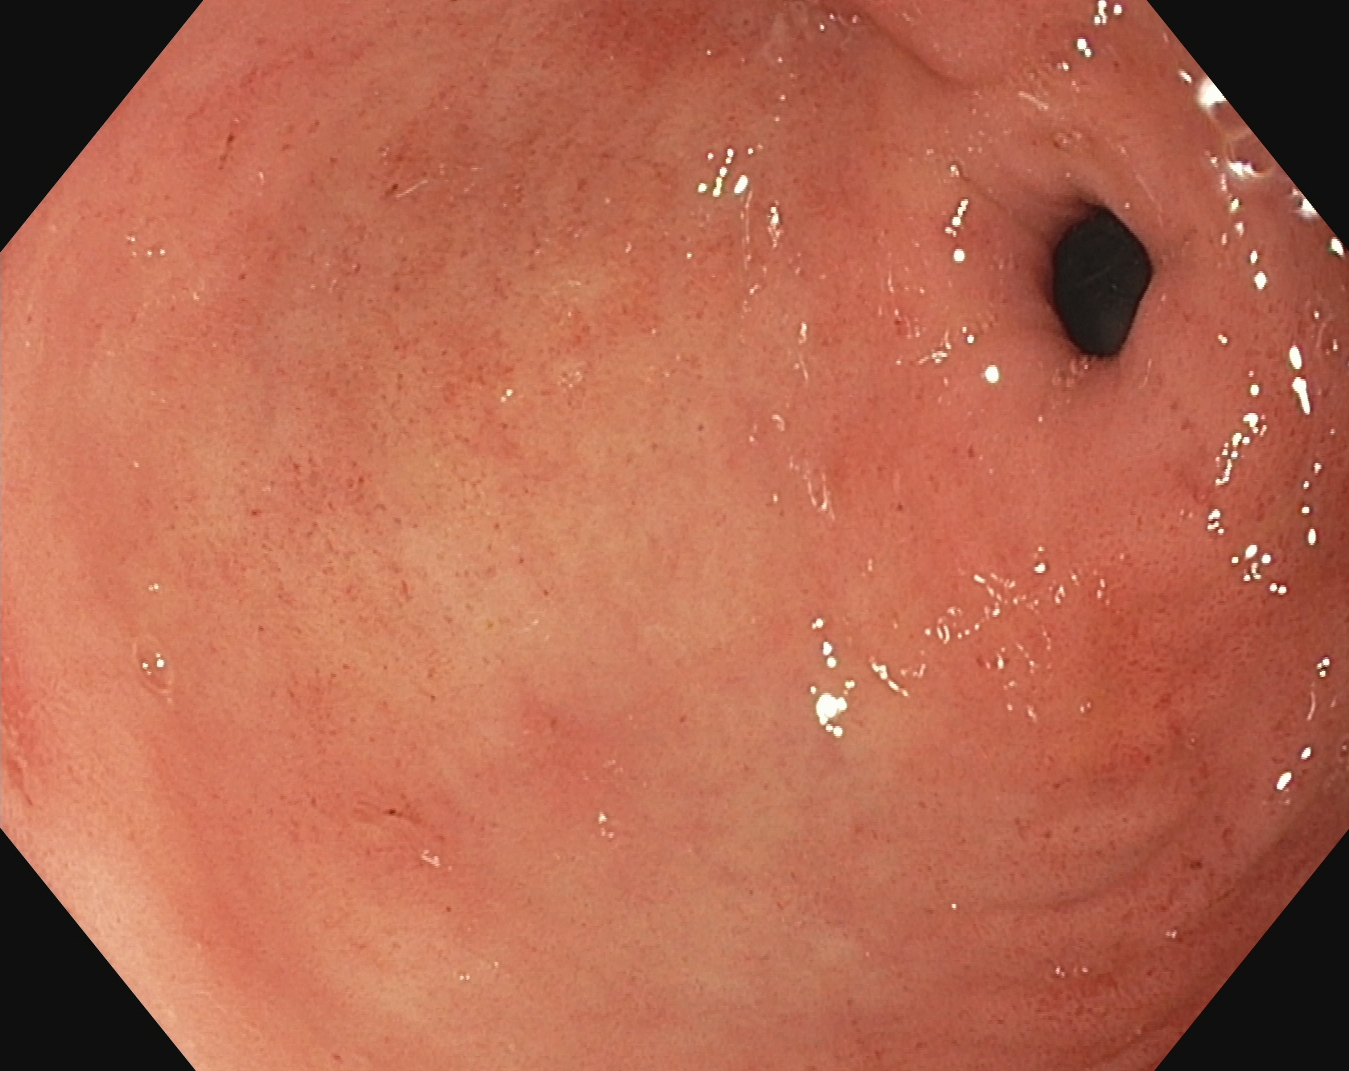PROCEDURE: Esophagogastroduodenoscopy.
FINDINGS: Pylorus.